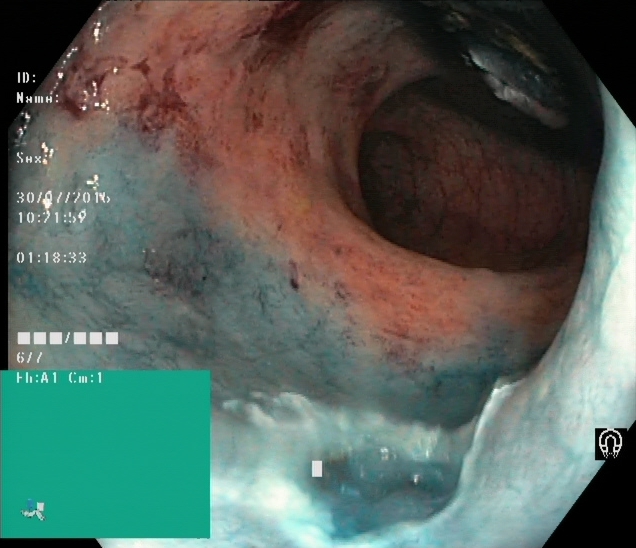PROCEDURE: Lower-GI endoscopy.
FINDINGS: Dyed resection margins (post-polypectomy).